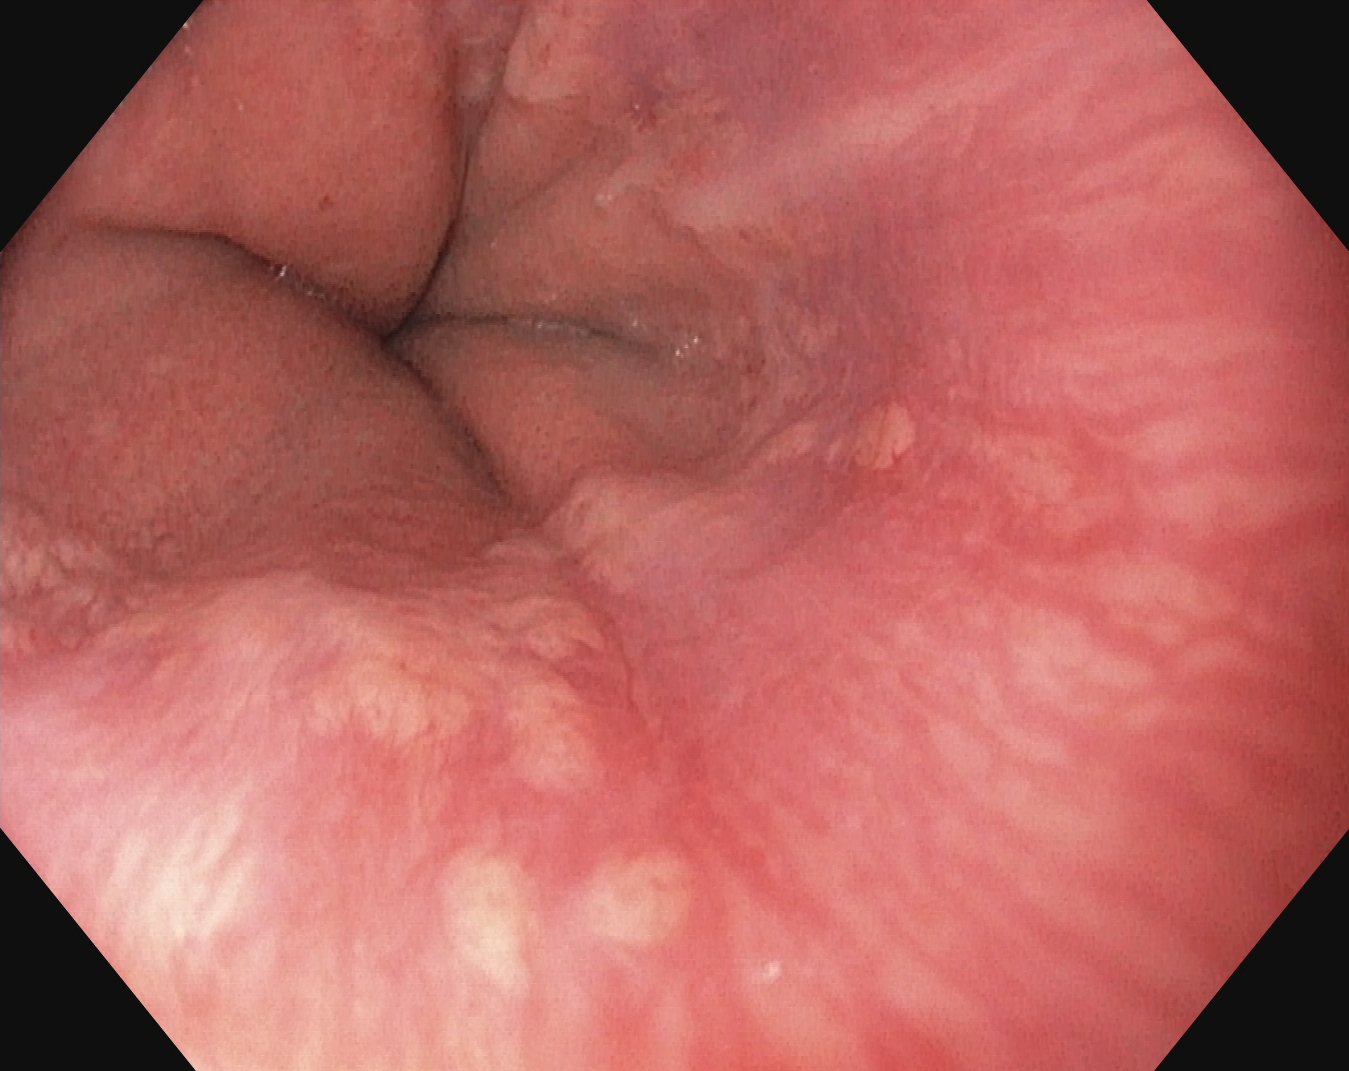Endoscopic image of the upper GI tract showing Z-line (gastroesophageal junction).